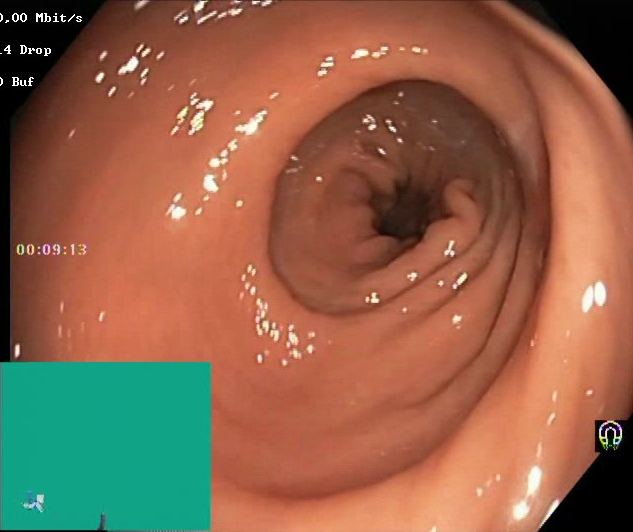PROCEDURE: Lower gastrointestinal endoscopy.
FINDINGS: BBPS score 2–3 (adequate preparation).